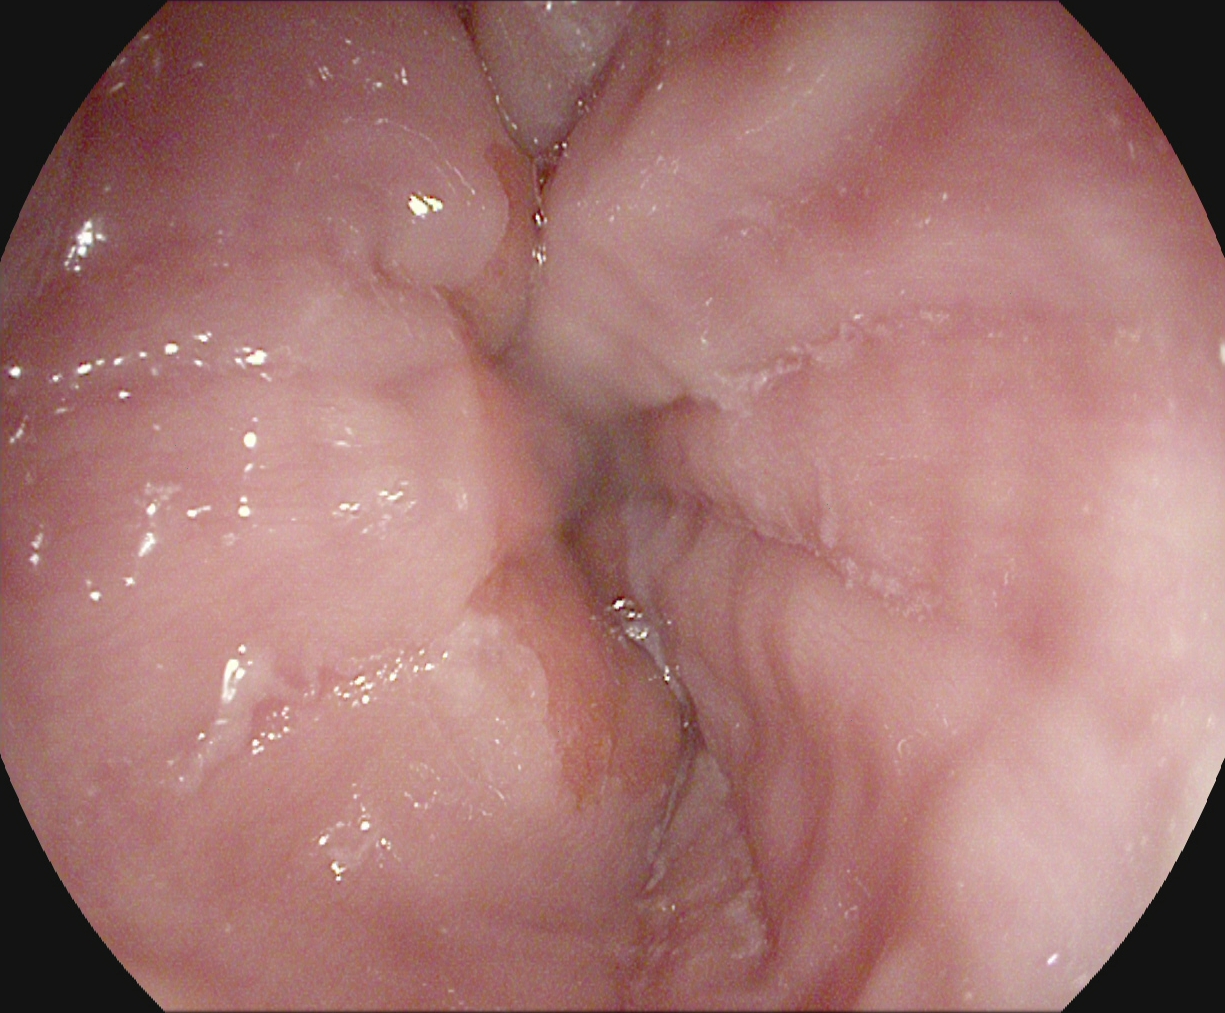Upper-GI endoscopy — Z-line (gastroesophageal junction).